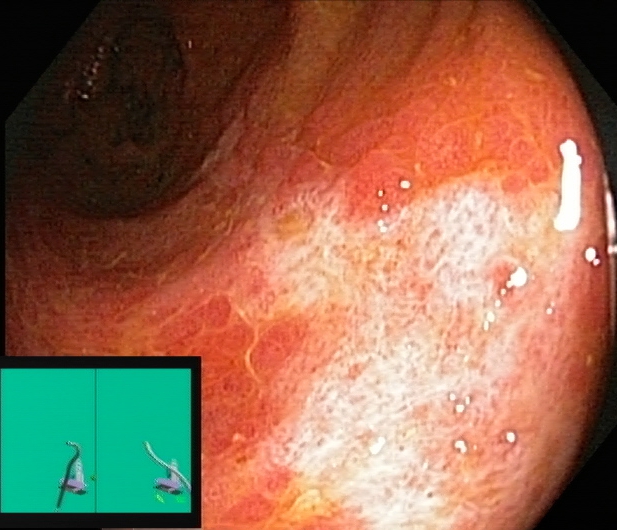Lower-GI endoscopy. Tract: lower GI tract. Finding: ulcerative colitis, Mayo endoscopic subscore 3.